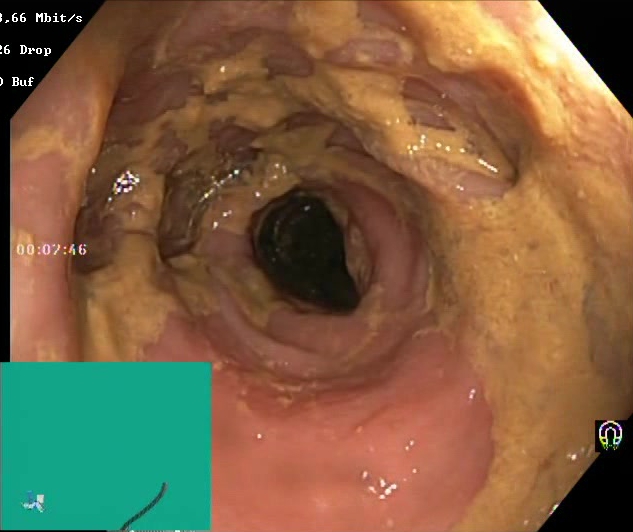{"modality": "lower-GI endoscopy", "tract": "lower GI tract", "category": "mucosal-view quality", "finding": "Boston Bowel Preparation Scale score 0\u20131 (inadequate preparation)"}